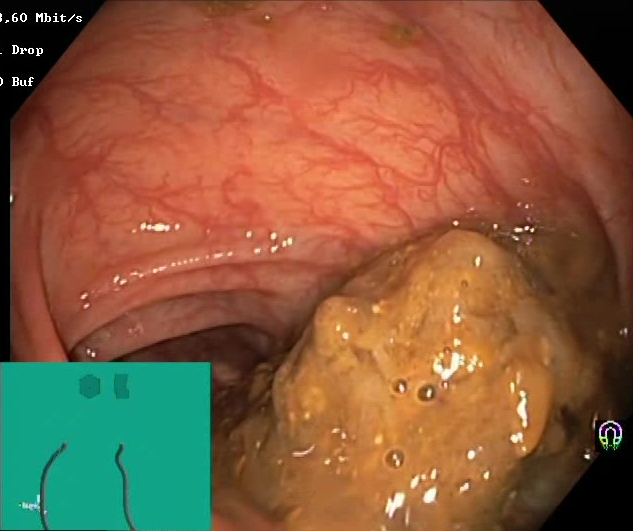Colonoscopy. Tract: lower GI tract. Finding: Boston Bowel Preparation Scale score 0–1 (inadequate preparation).